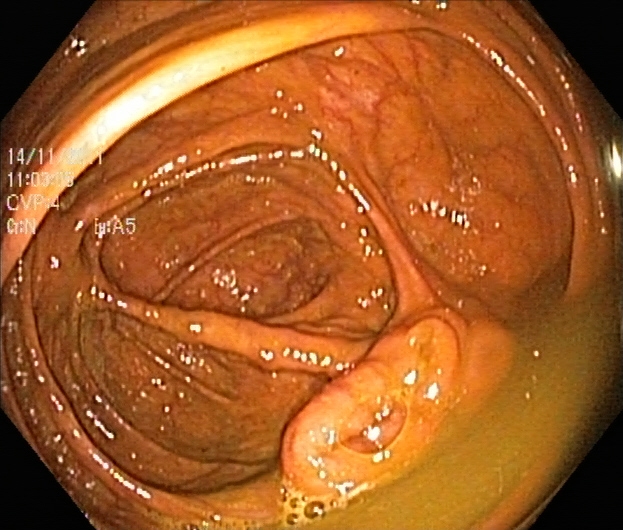Cecum.